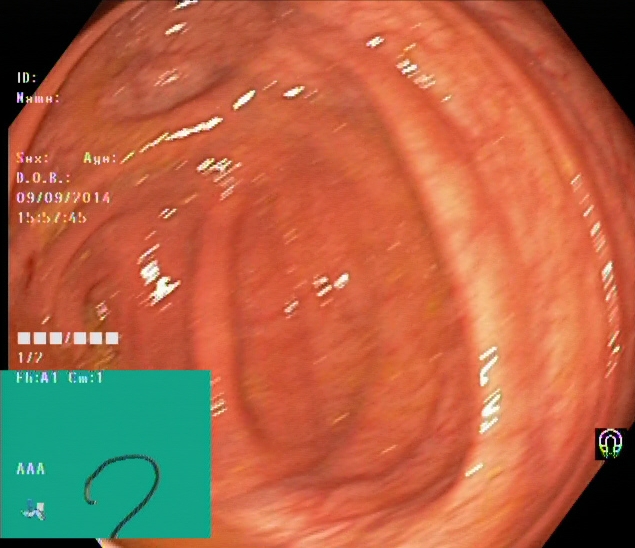{"modality": "colonoscopy", "tract": "lower GI tract", "finding": "cecum"}